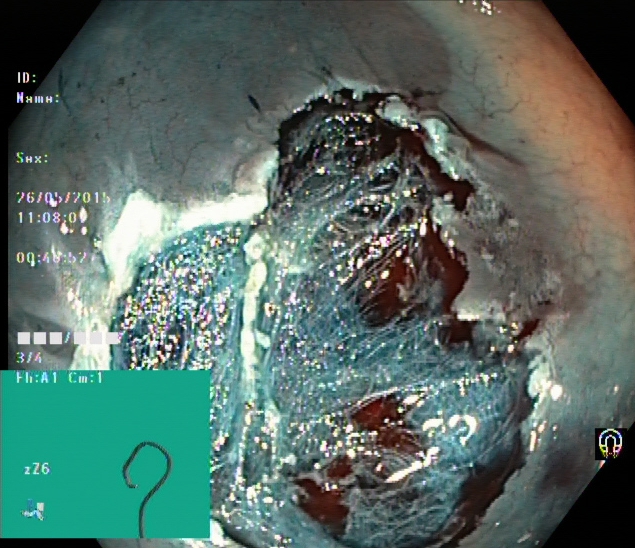PROCEDURE: Lower-GI endoscopy.
FINDINGS: Dyed resection margins (post-polypectomy).